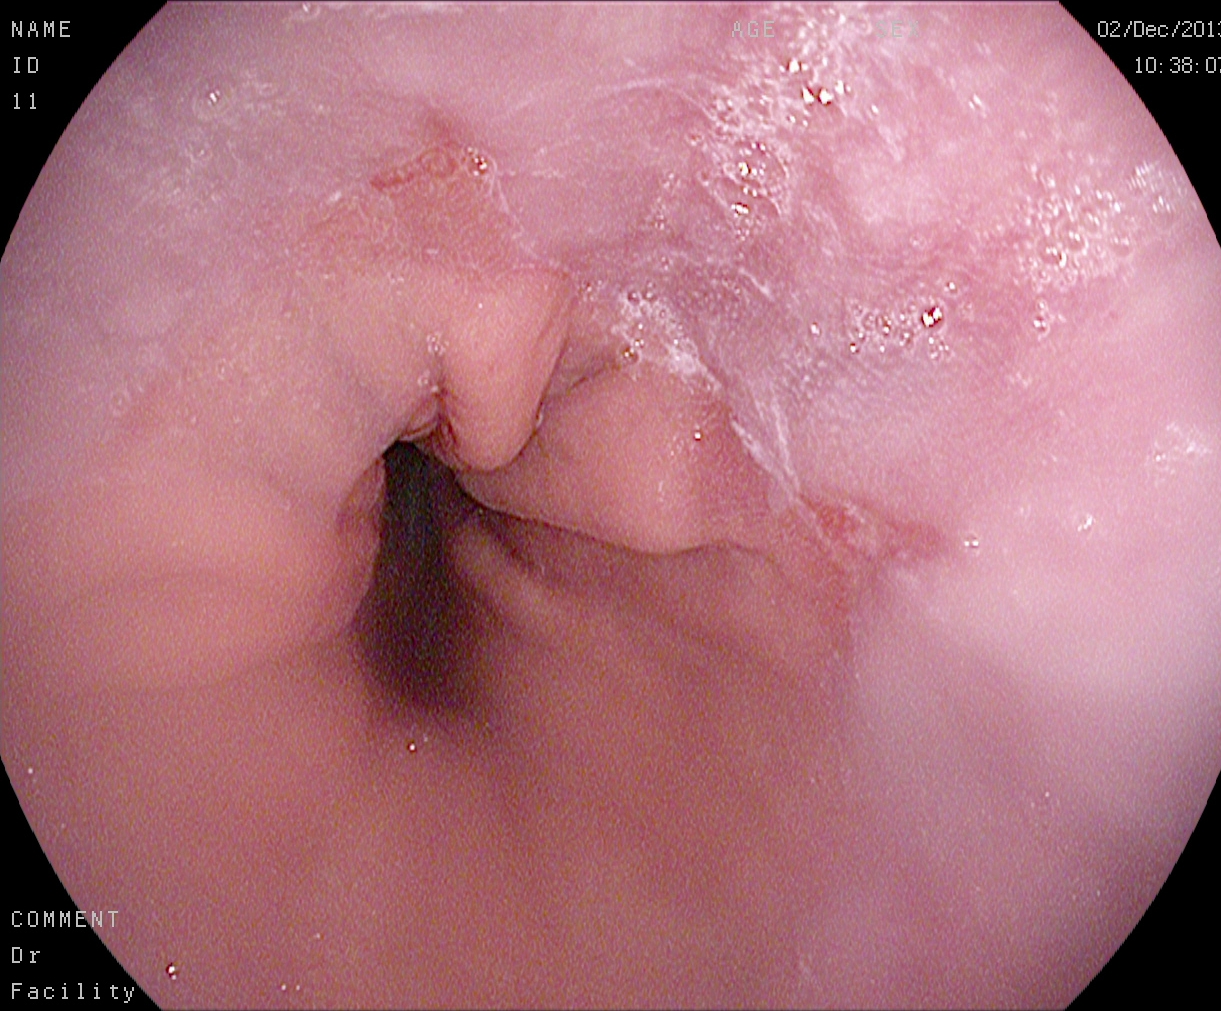modality: gastroscopy; tract: upper GI tract; finding: reflux esophagitis, Los Angeles grade A